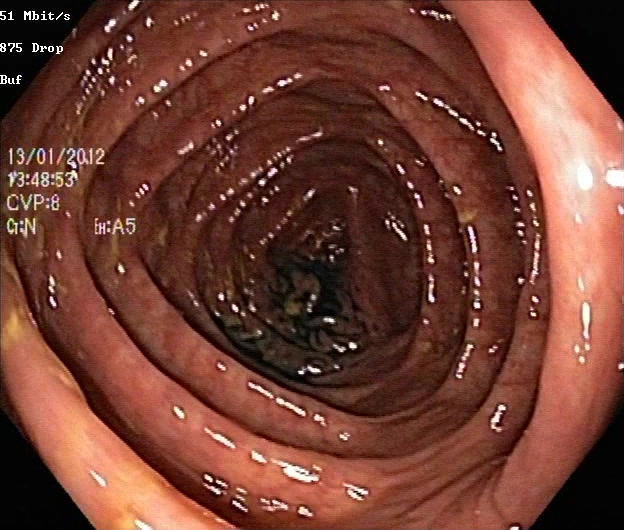{"modality": "lower-GI endoscopy", "tract": "lower GI tract", "category": "pathological finding", "finding": "ulcerative colitis, Mayo endoscopic subscore 0\u20131"}